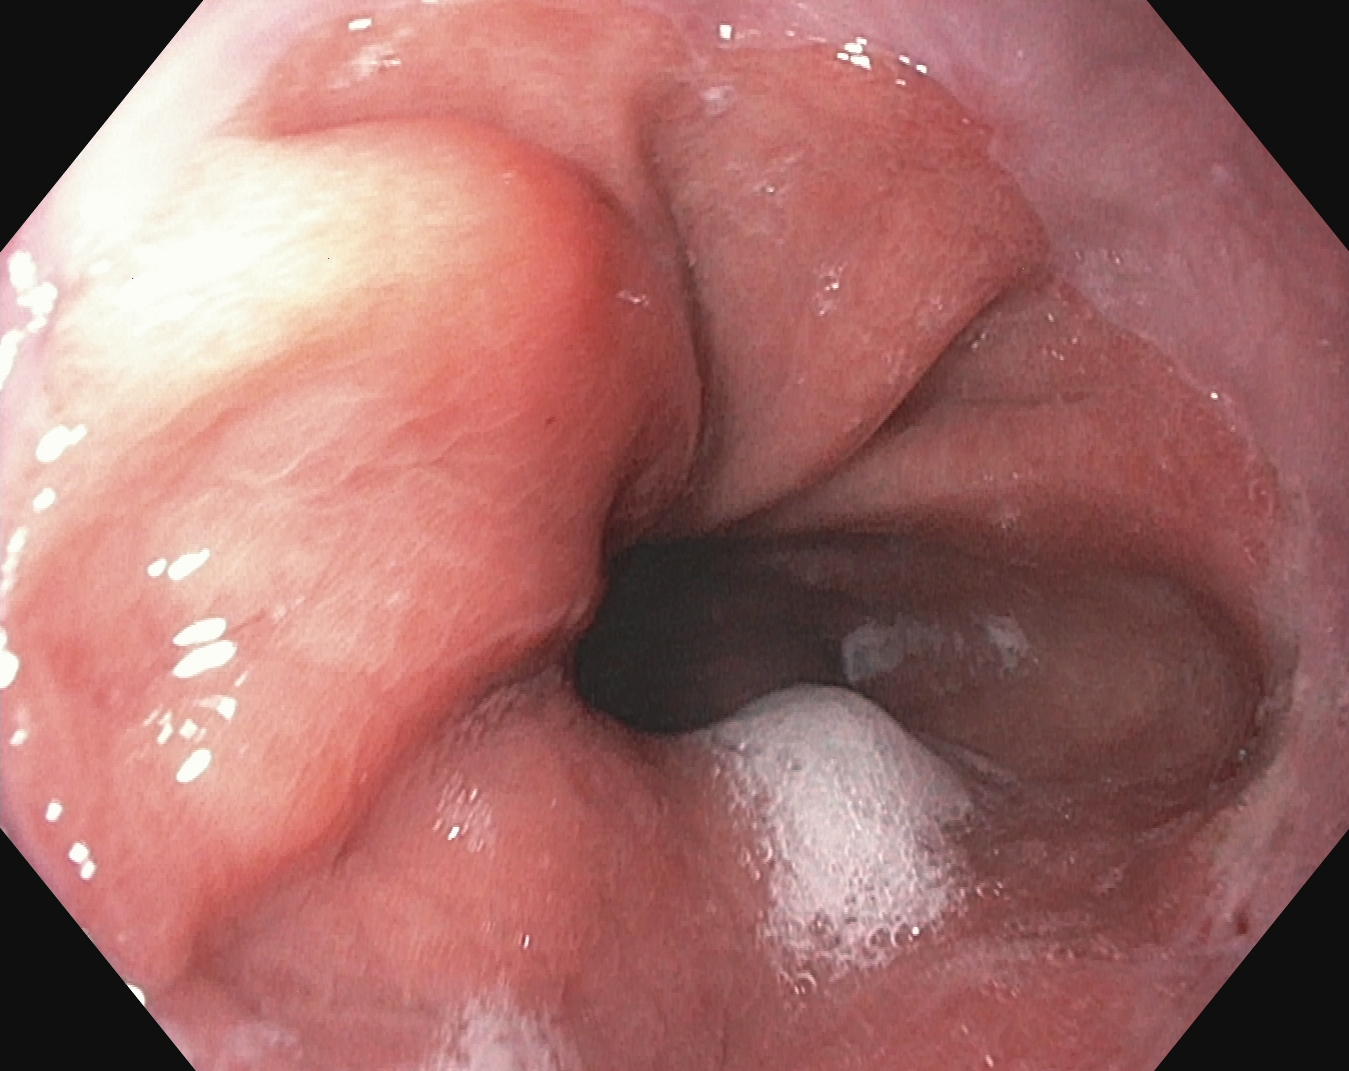Upper-GI endoscopy — Z-line (gastroesophageal junction).